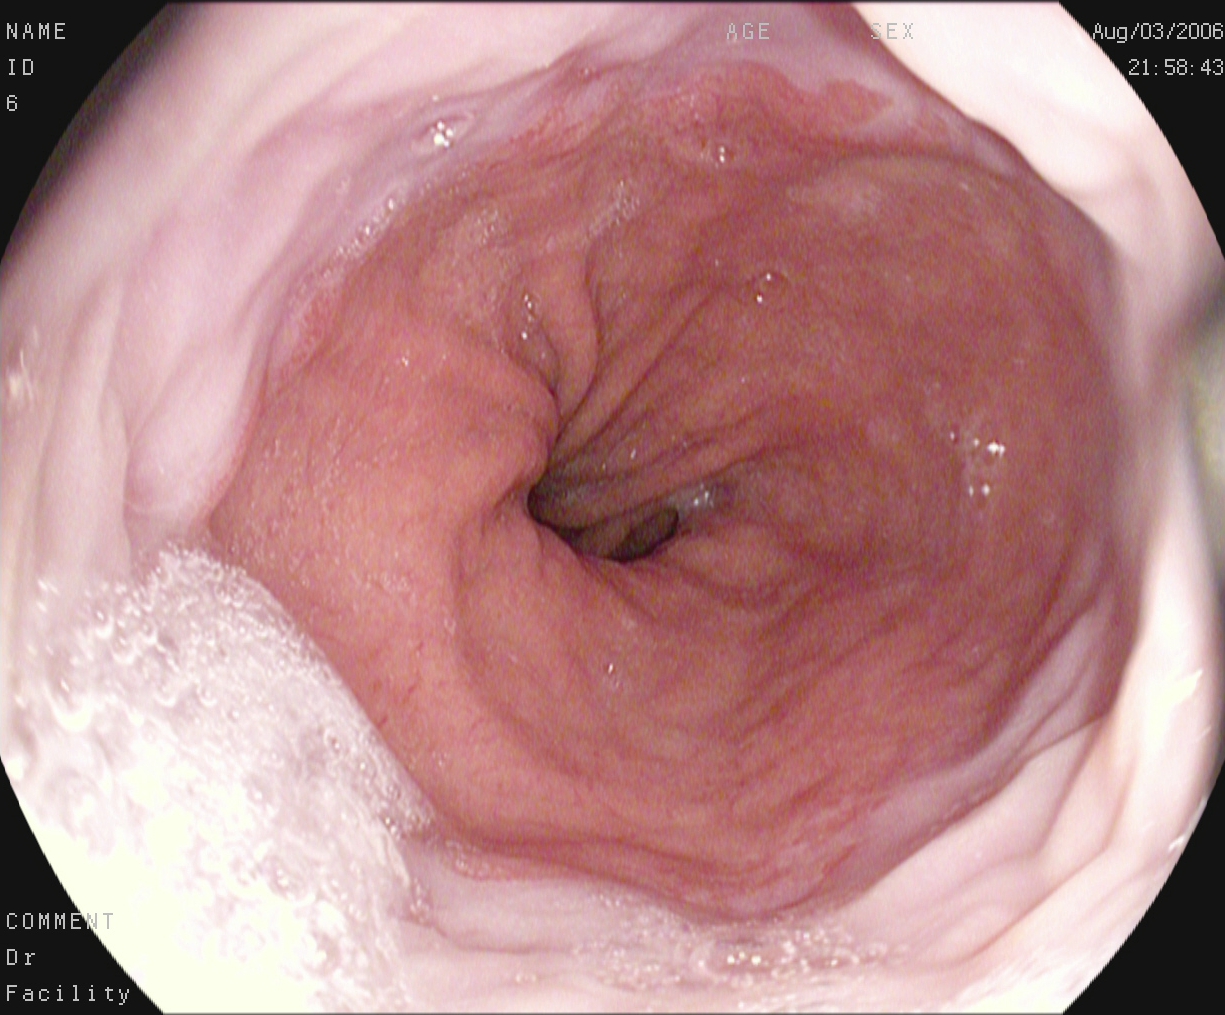Z-line (gastroesophageal junction).